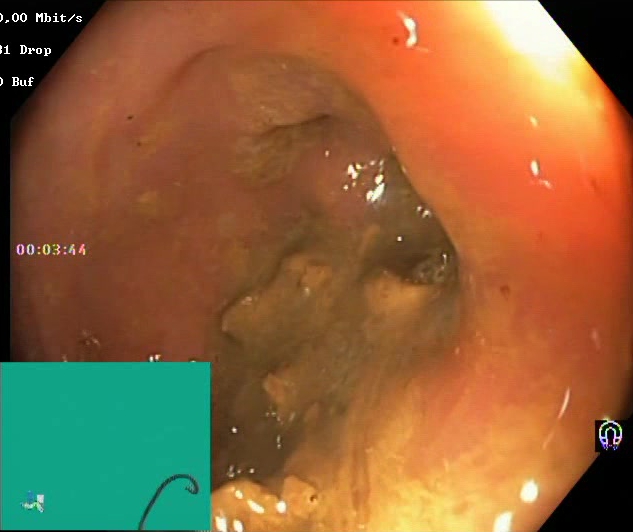PROCEDURE: Colonoscopy.
FINDINGS: Boston Bowel Preparation Scale score 0–1 (inadequate preparation).